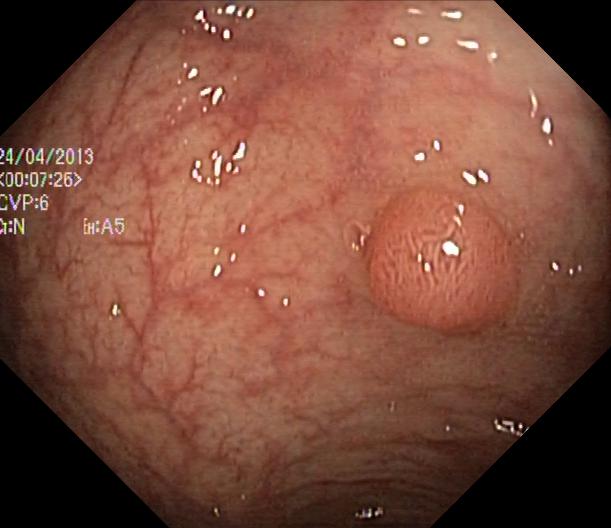Colorectal polyp(s).